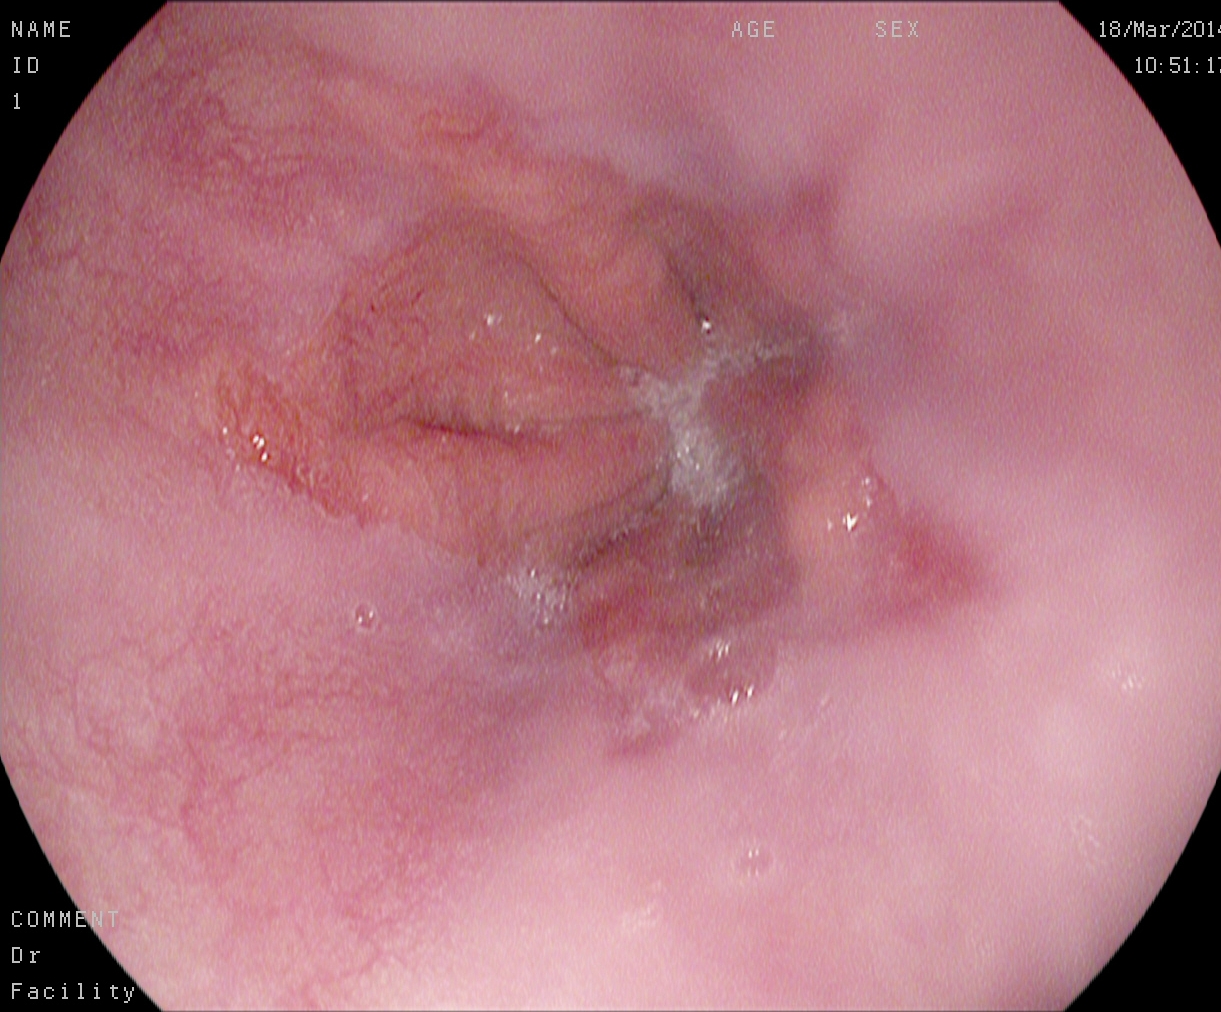reflux esophagitis, Los Angeles grade A.